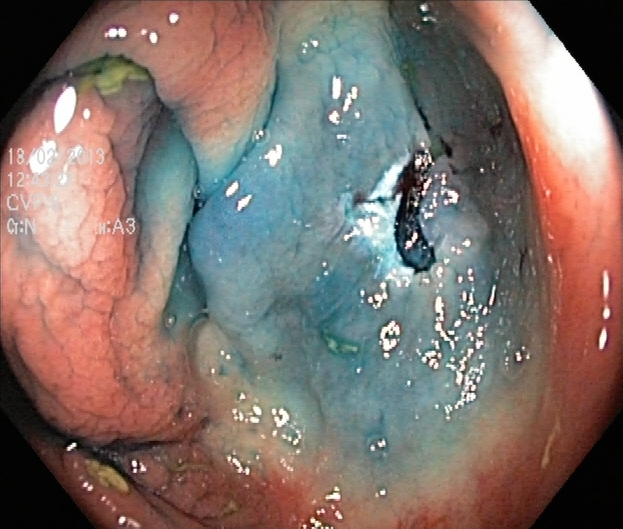Endoscopy image showing dyed resection margins (post-polypectomy).